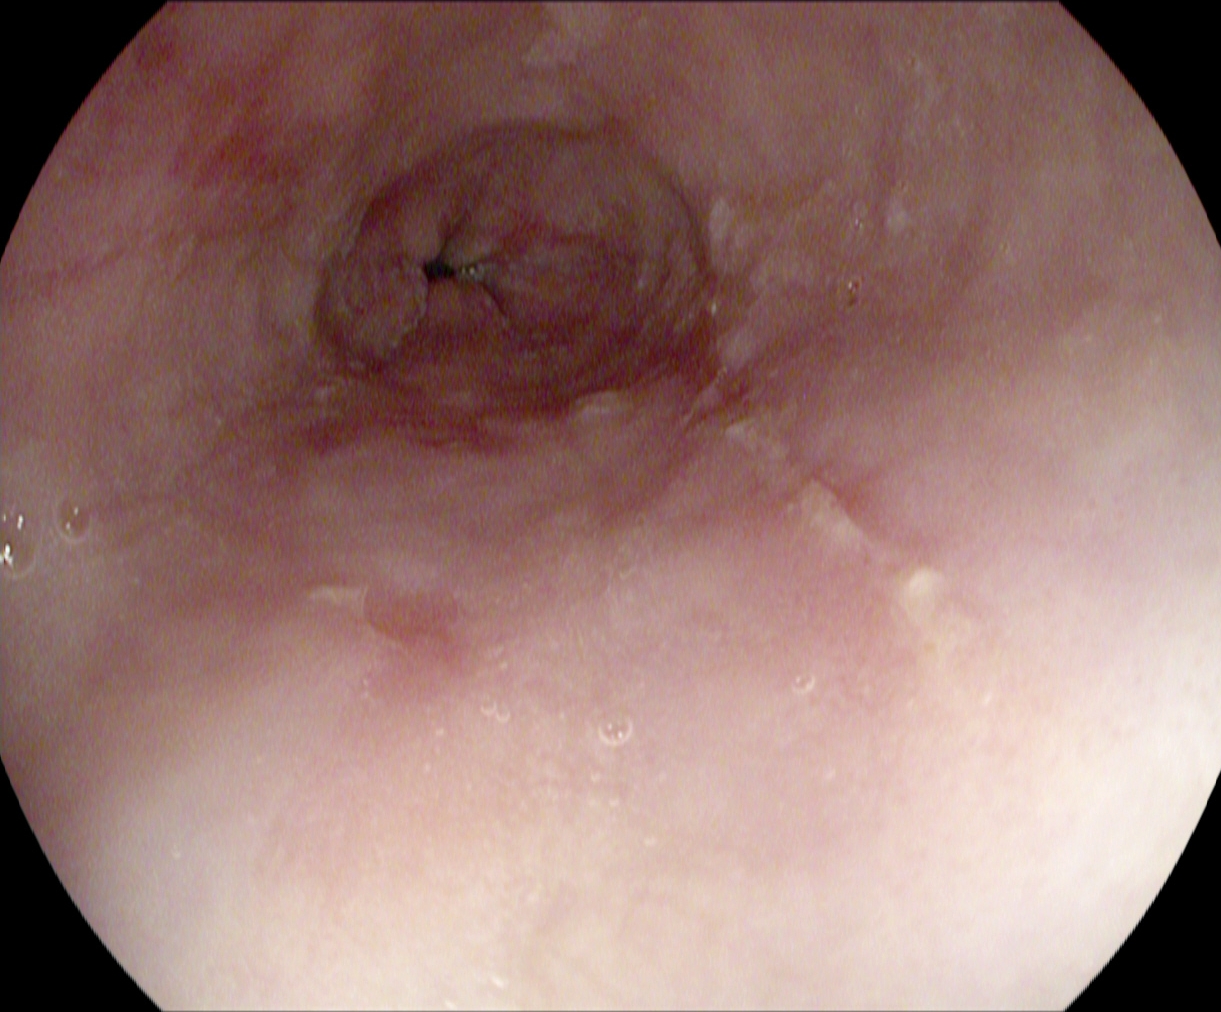{"modality": "gastroscopy", "tract": "upper GI tract", "finding": "reflux esophagitis, Los Angeles grade A"}